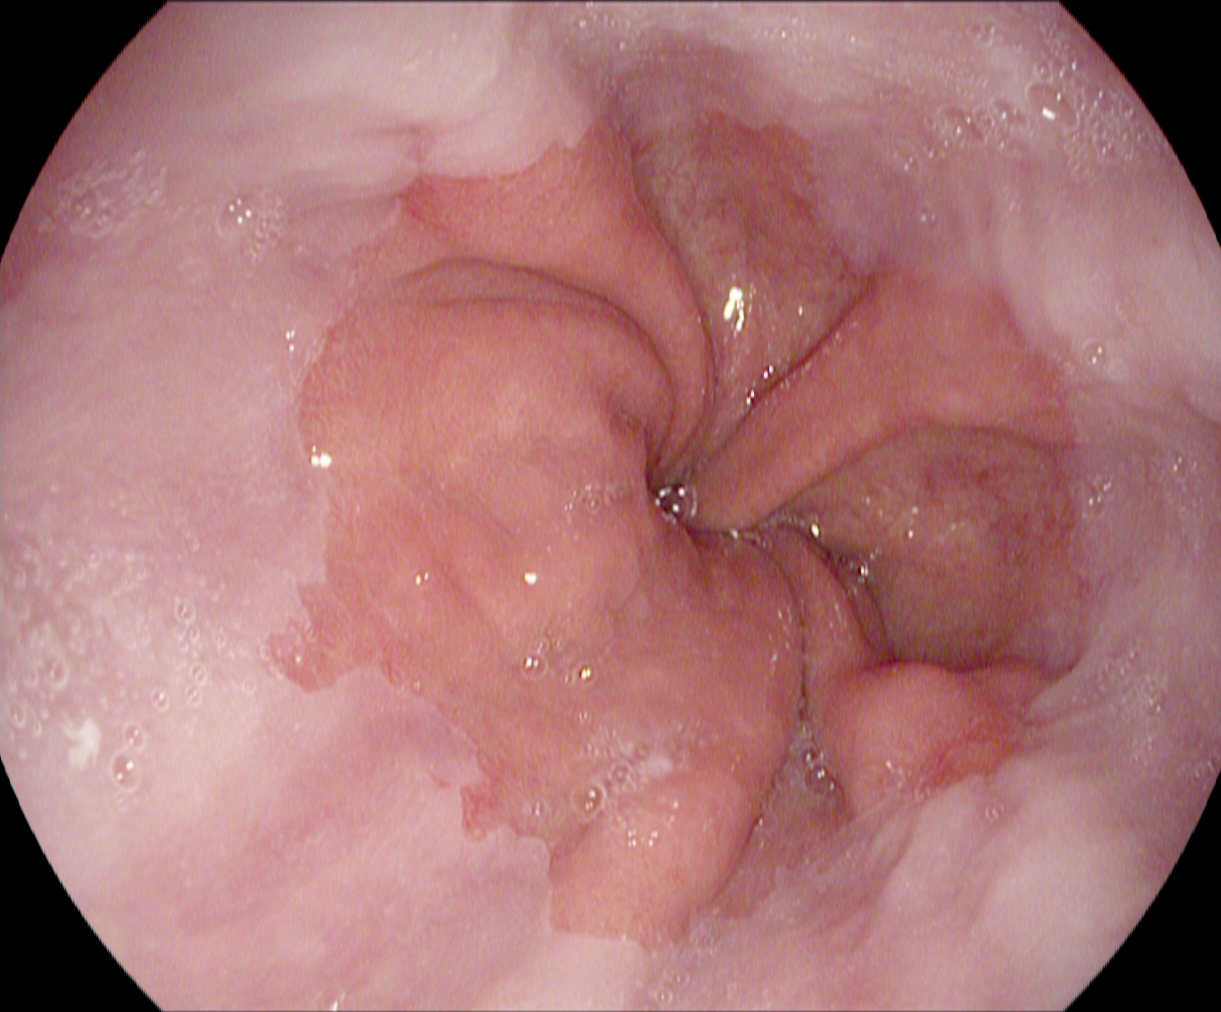GI endoscopy image of the upper GI tract showing Z-line (gastroesophageal junction).